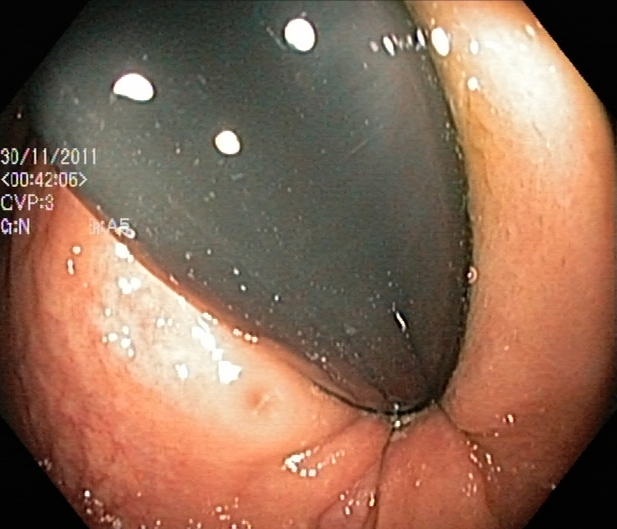PROCEDURE: Lower-GI endoscopy.
FINDINGS: Rectum in retroflexion.